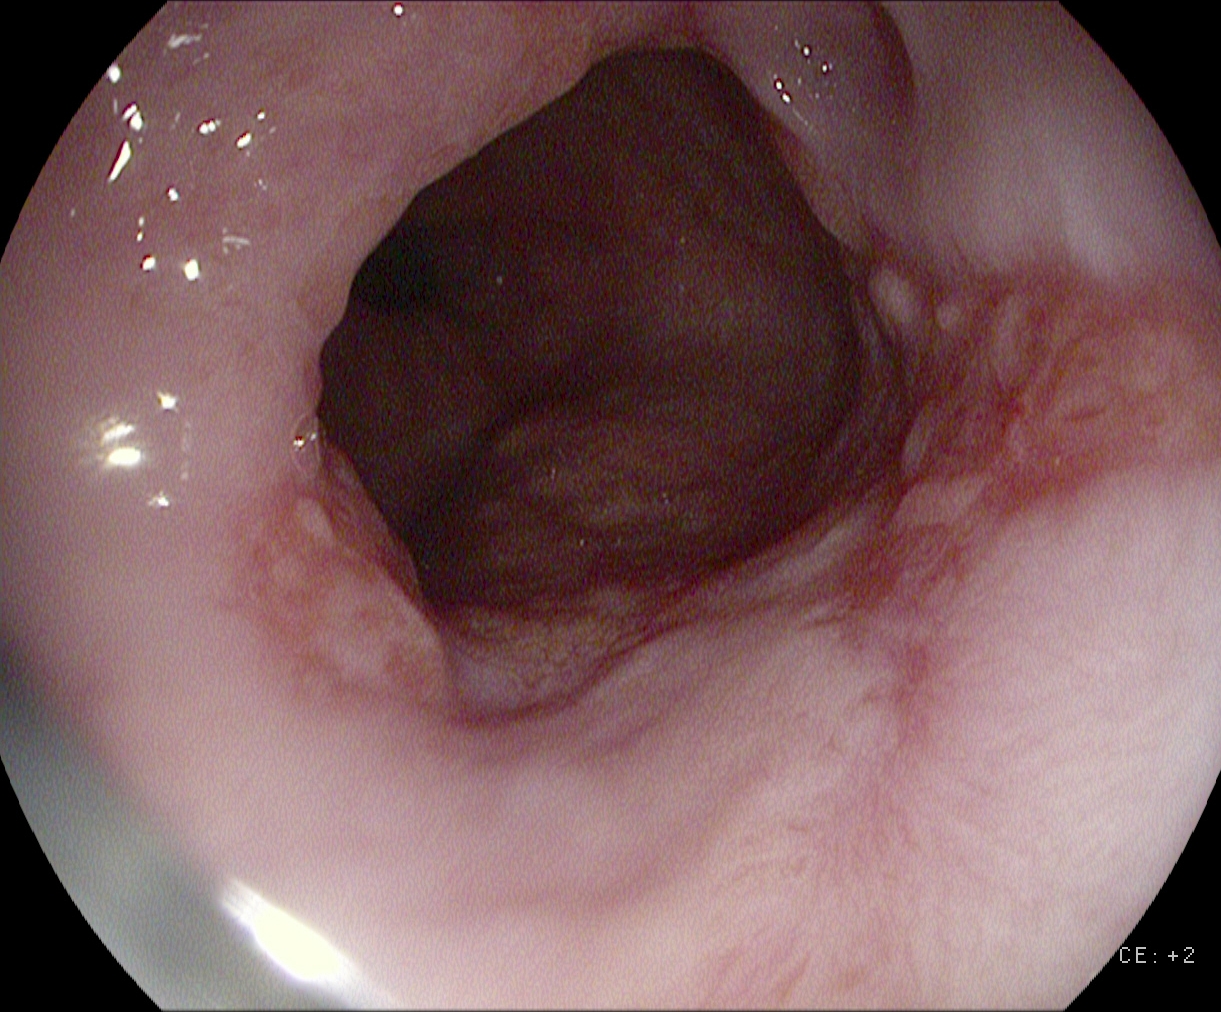{"modality": "EGD", "tract": "upper GI tract", "finding": "reflux esophagitis, Los Angeles grade B\u2013D"}